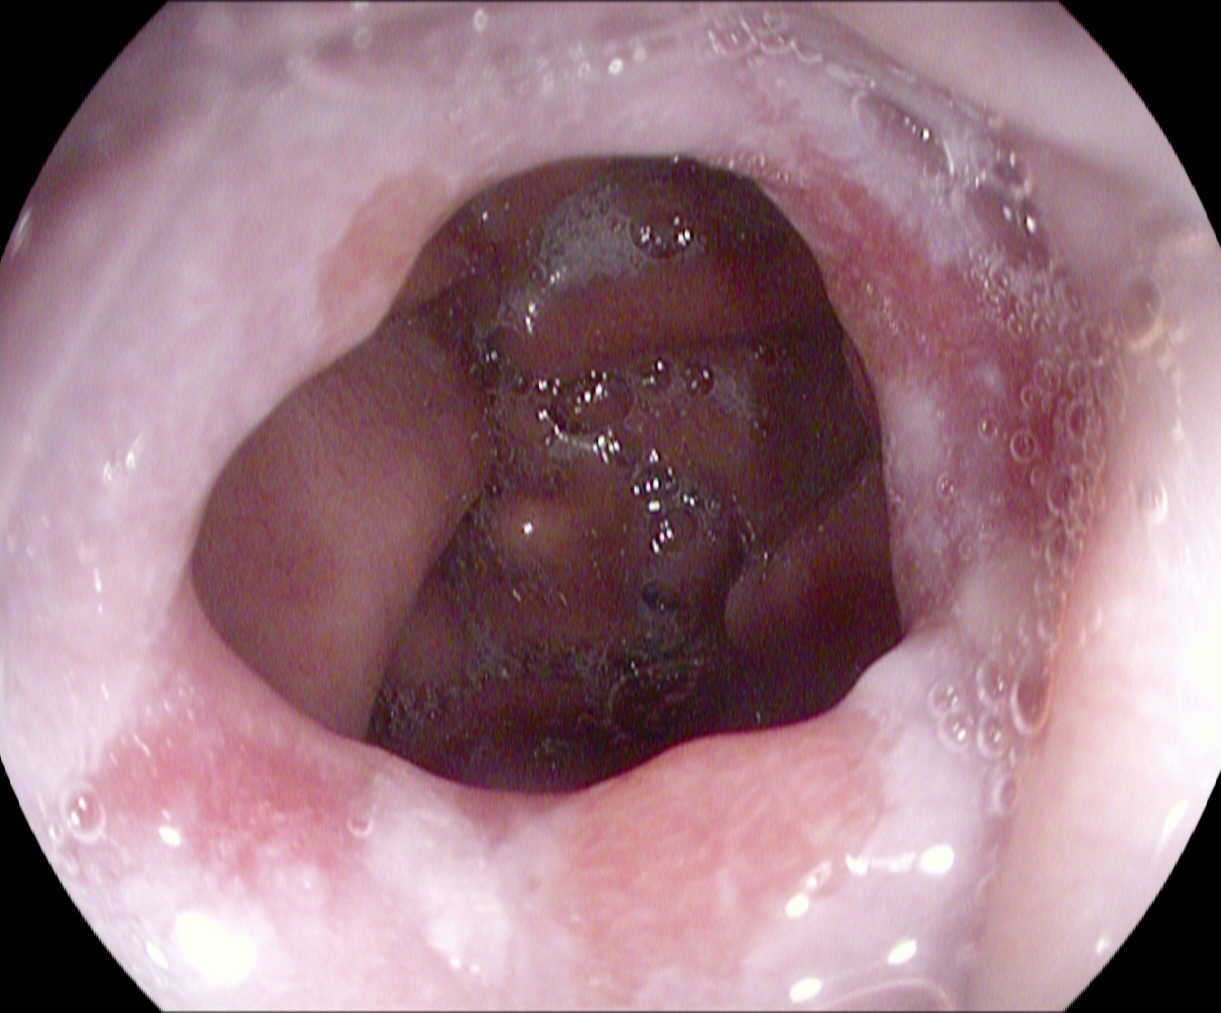reflux esophagitis, Los Angeles grade A.